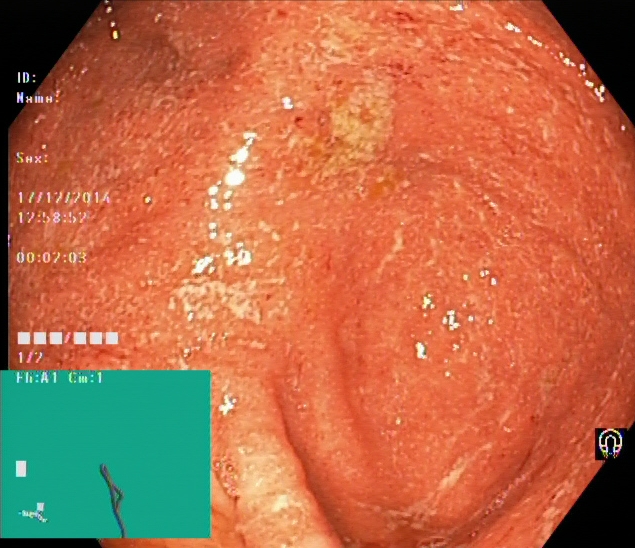This endoscopic image of the lower GI tract shows ulcerative colitis, Mayo endoscopic subscore 2.